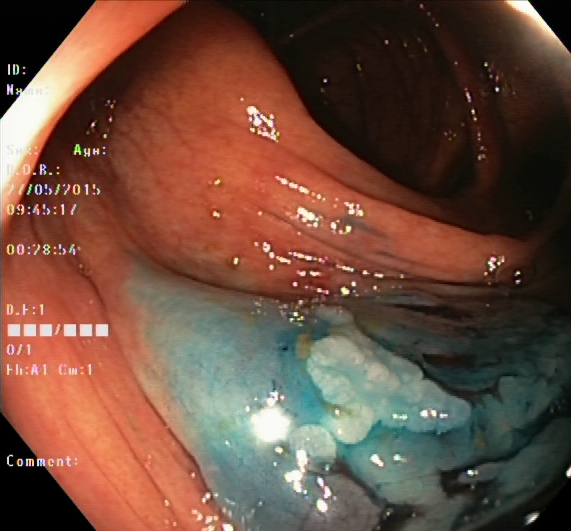{"modality": "lower gastrointestinal endoscopy", "tract": "lower GI tract", "category": "therapeutic intervention", "finding": "dyed and lifted polyp (pre-resection)"}